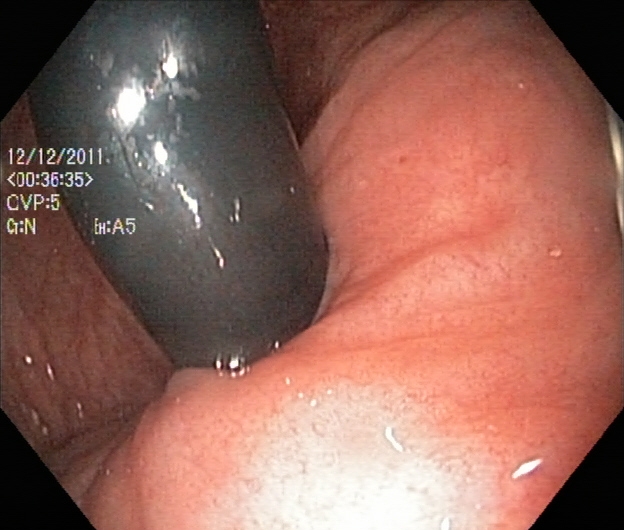Gastrointestinal endoscopy image of the lower GI tract showing rectum in retroflexion.